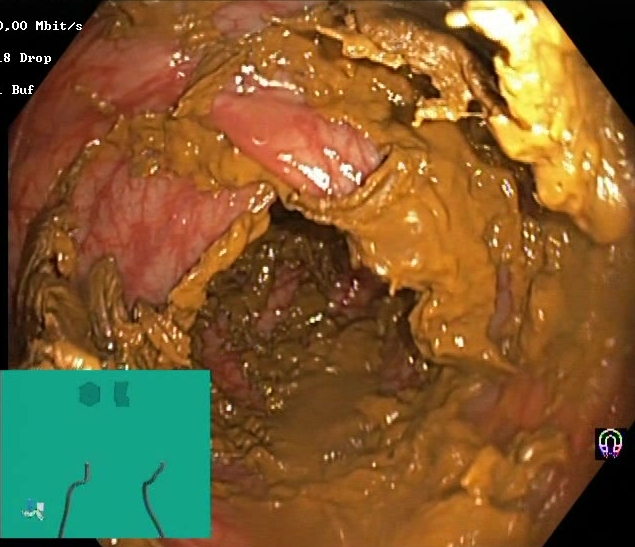Boston Bowel Preparation Scale score 0–1 (inadequate preparation).